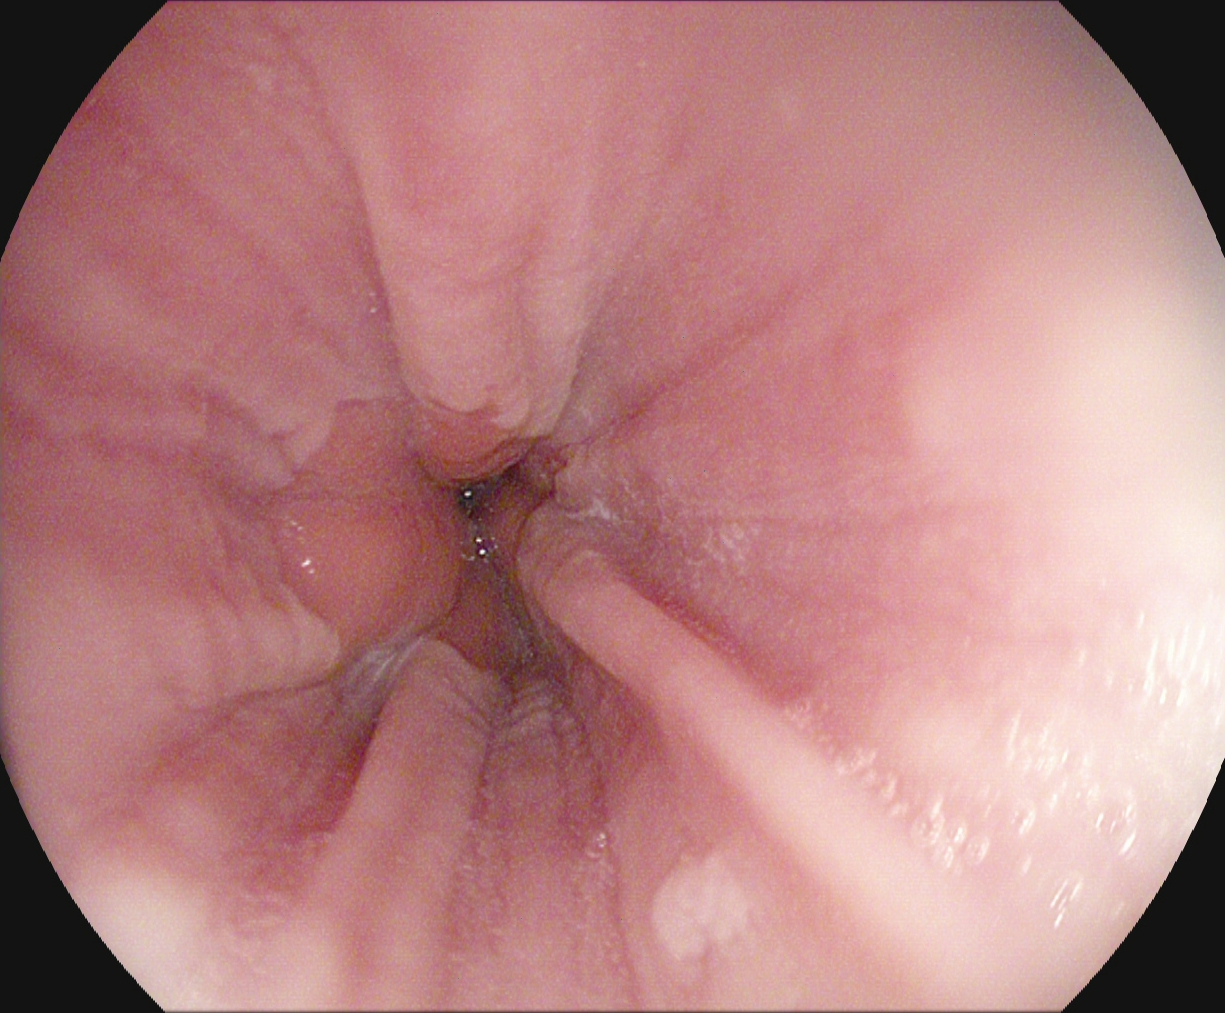Z-line (gastroesophageal junction).